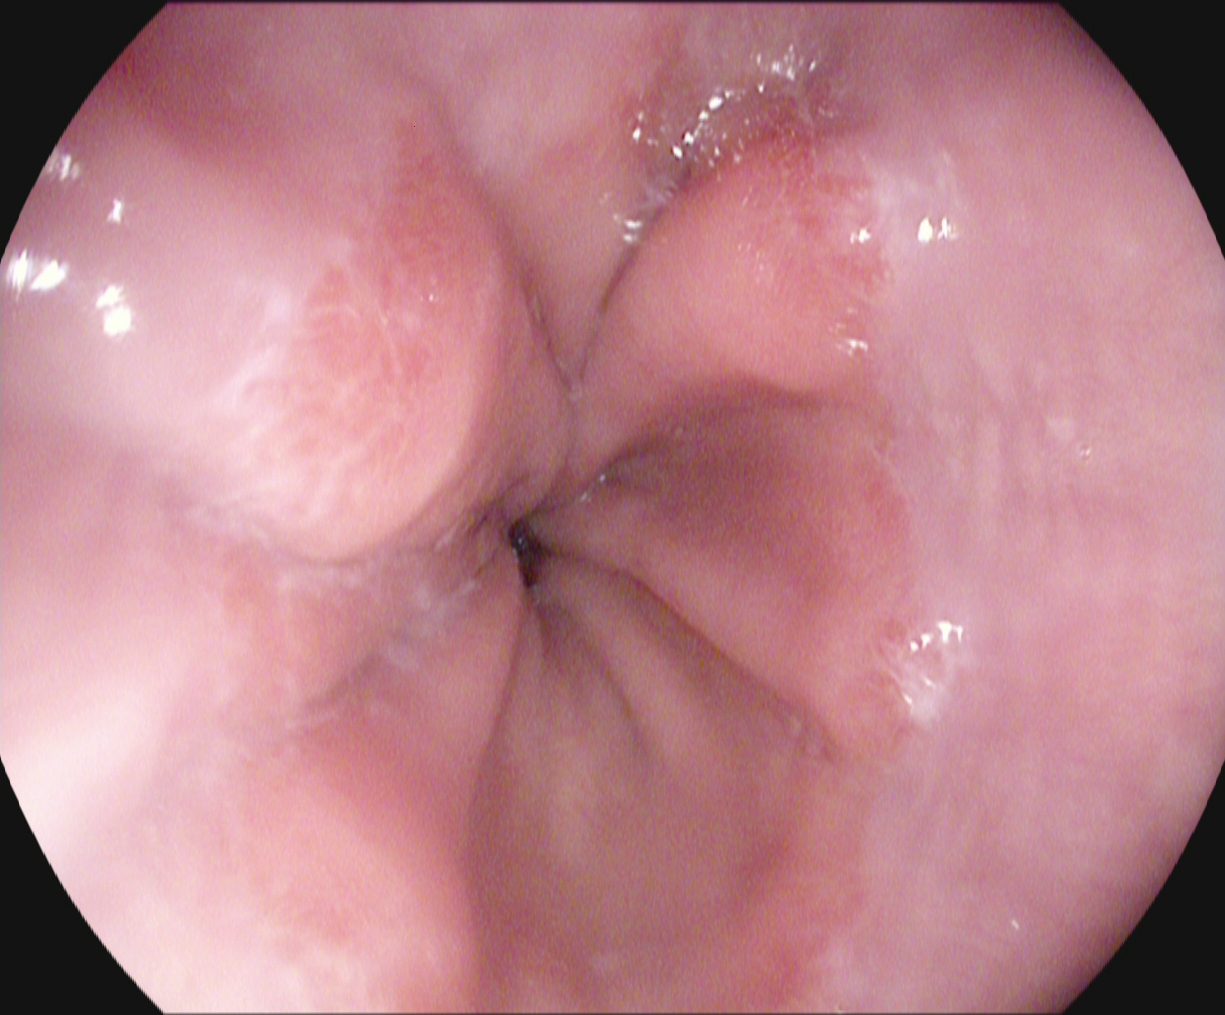Gastrointestinal endoscopy image showing Z-line (gastroesophageal junction).